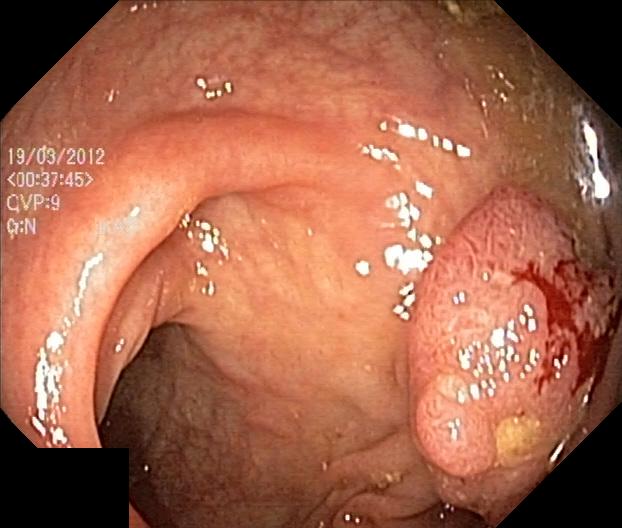Endoscopic frame showing colorectal polyp(s).